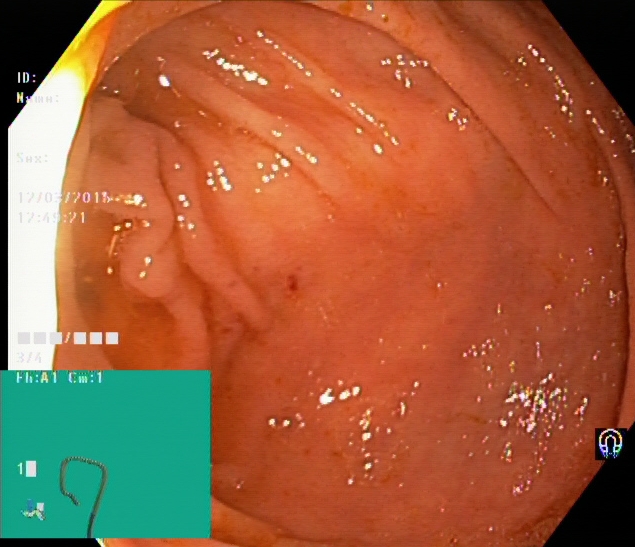{"modality": "lower gastrointestinal endoscopy", "finding": "cecum"}